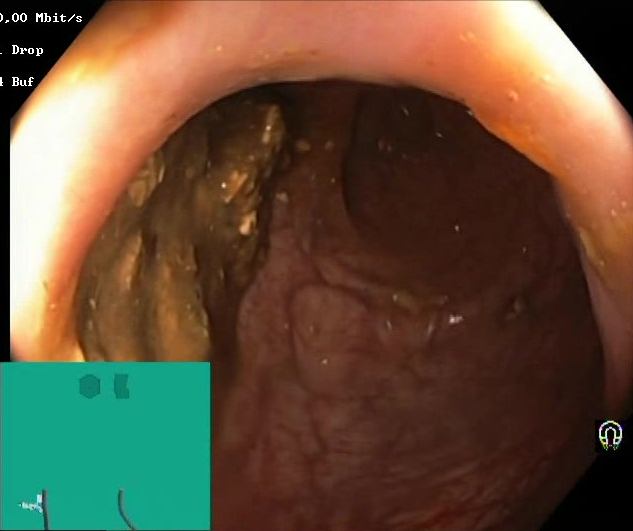PROCEDURE: Colonoscopy.
FINDINGS: Boston Bowel Preparation Scale score 0–1 (inadequate preparation).